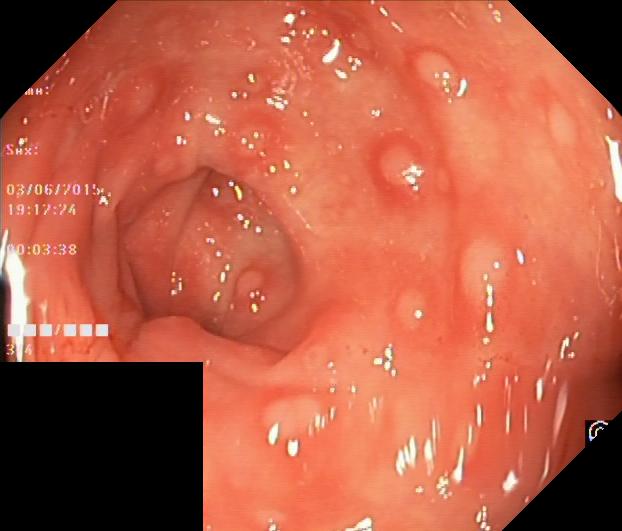Colorectal polyp(s).